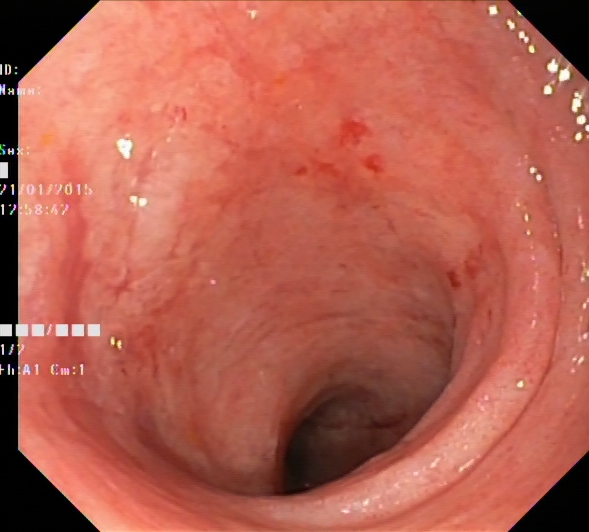Colonoscopy. Tract: lower GI tract. Pathological finding. Finding: ulcerative colitis, Mayo endoscopic subscore 1.